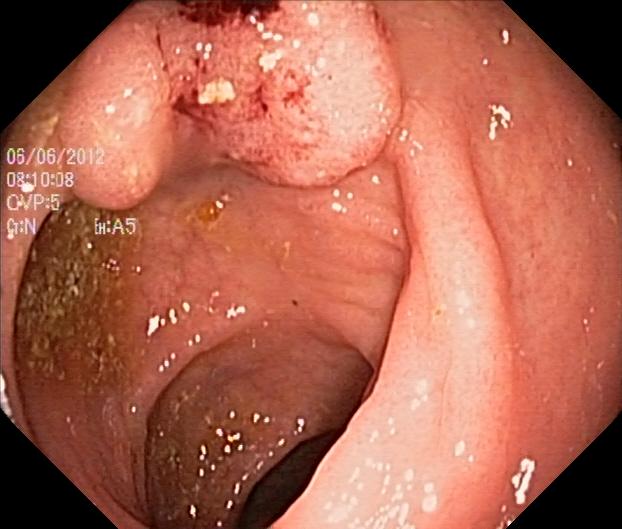modality: lower gastrointestinal endoscopy | tract: lower GI tract | category: pathological finding | finding: colorectal polyp(s)